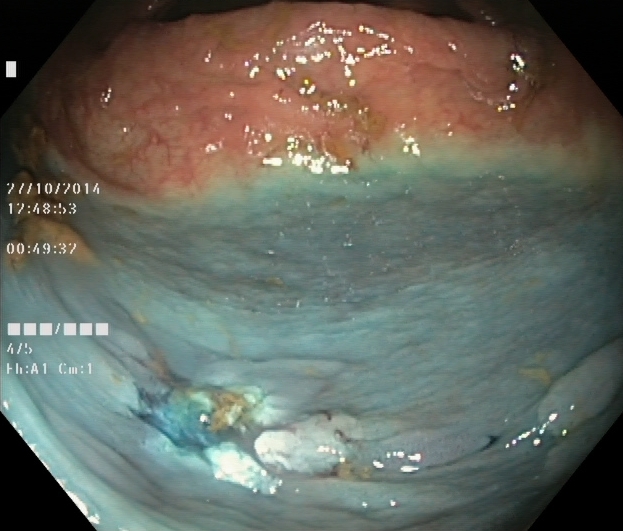dyed resection margins (post-polypectomy).